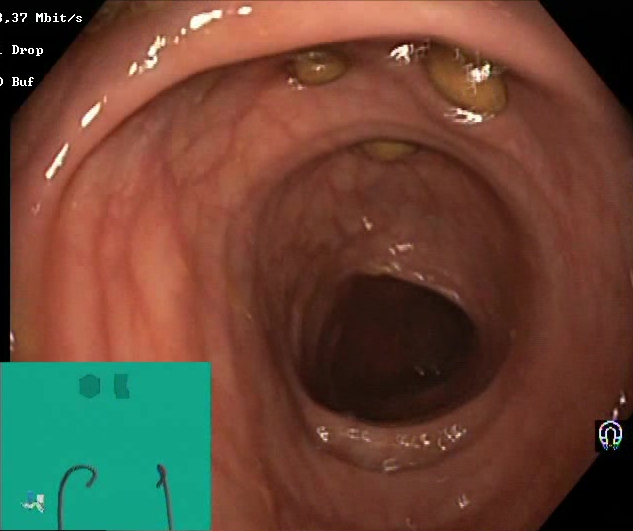This endoscopy frame of the lower GI tract shows impacted stool.